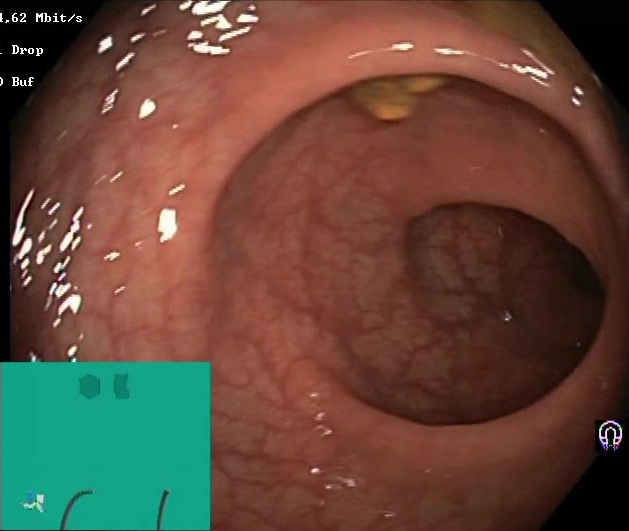Lower-GI endoscopy — Boston Bowel Preparation Scale score 2–3 (adequate preparation).